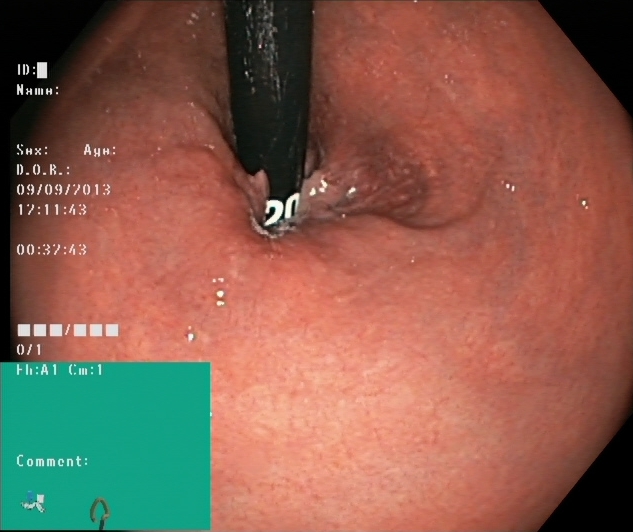Lower-GI endoscopy. Tract: lower GI tract. Finding: rectum in retroflexion.